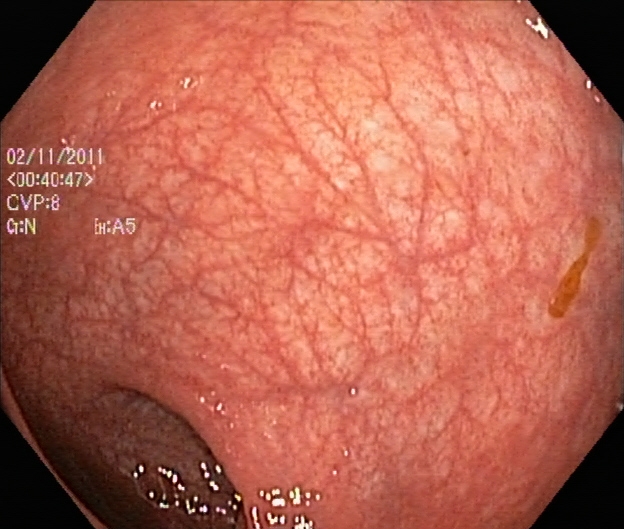modality: colonoscopy | finding: UC, Mayo endoscopic subscore 1